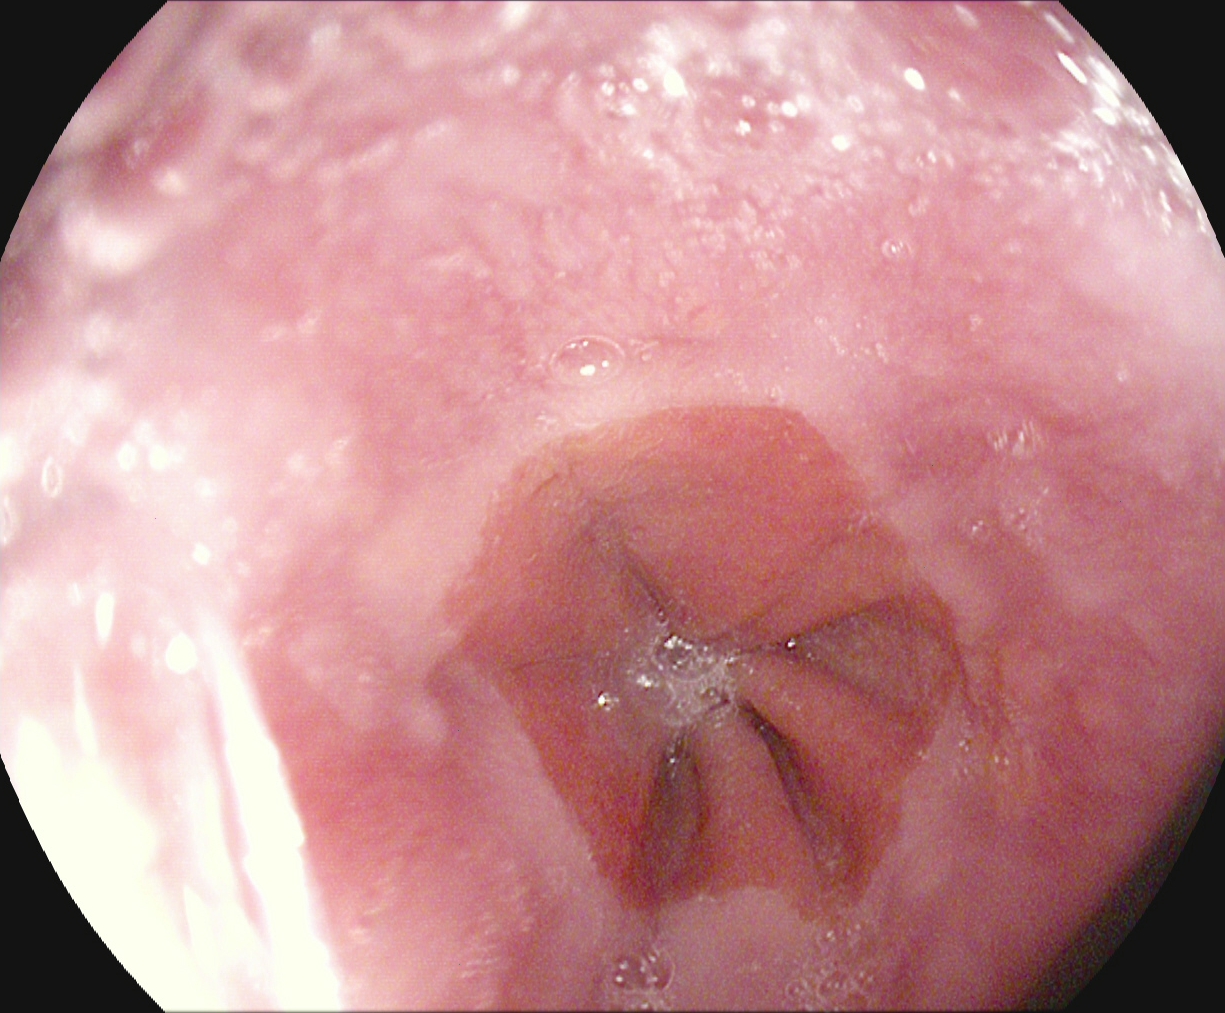Endoscopic image showing Z-line (gastroesophageal junction).